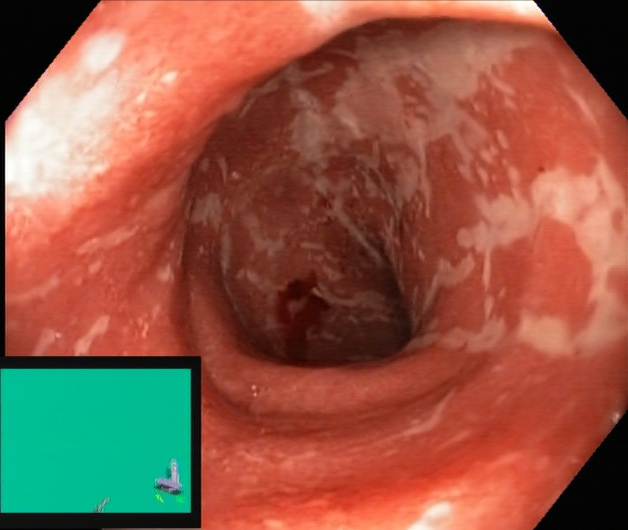Ulcerative colitis, Mayo endoscopic subscore 2.